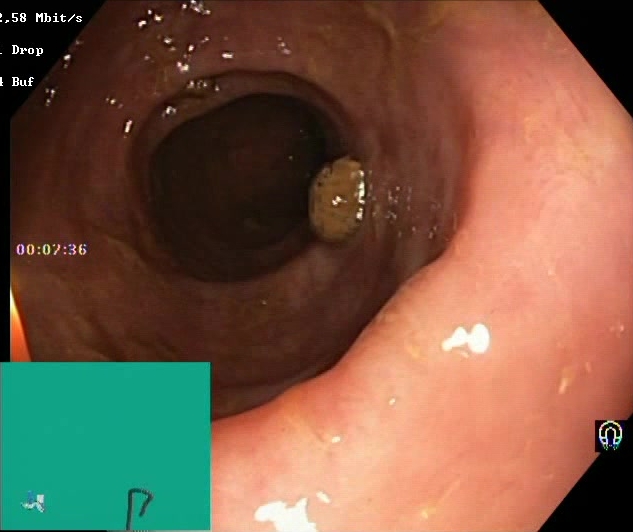Boston Bowel Preparation Scale score 2–3 (adequate preparation).